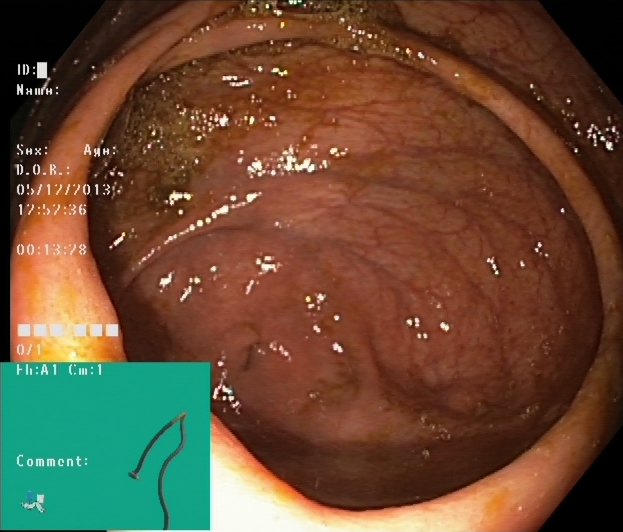Lower gastrointestinal endoscopy image of the lower GI tract showing cecum.